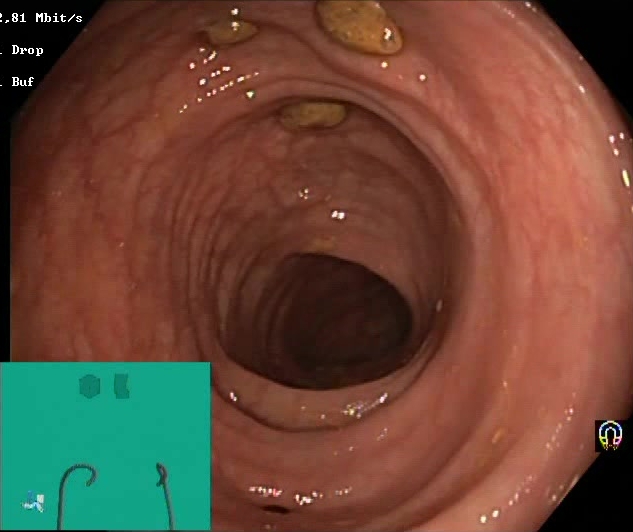modality: colonoscopy | tract: lower GI tract | finding: impacted stool